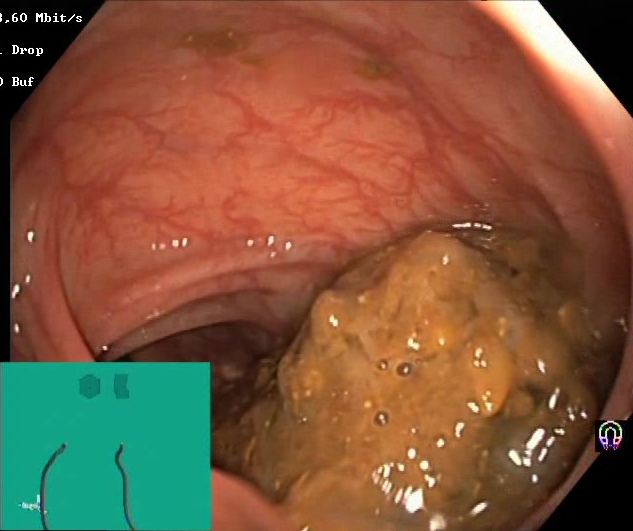Lower gastrointestinal endoscopy. Tract: lower GI tract. Mucosal-view quality. Finding: Boston Bowel Preparation Scale score 0–1 (inadequate preparation).